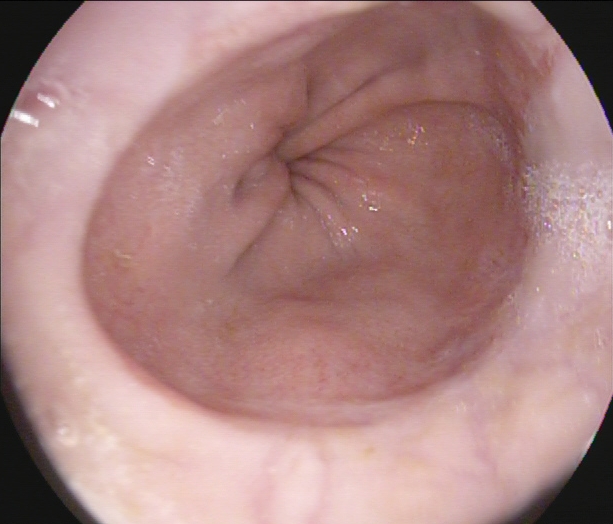PROCEDURE: EGD.
FINDINGS: Reflux esophagitis, LA grade A.